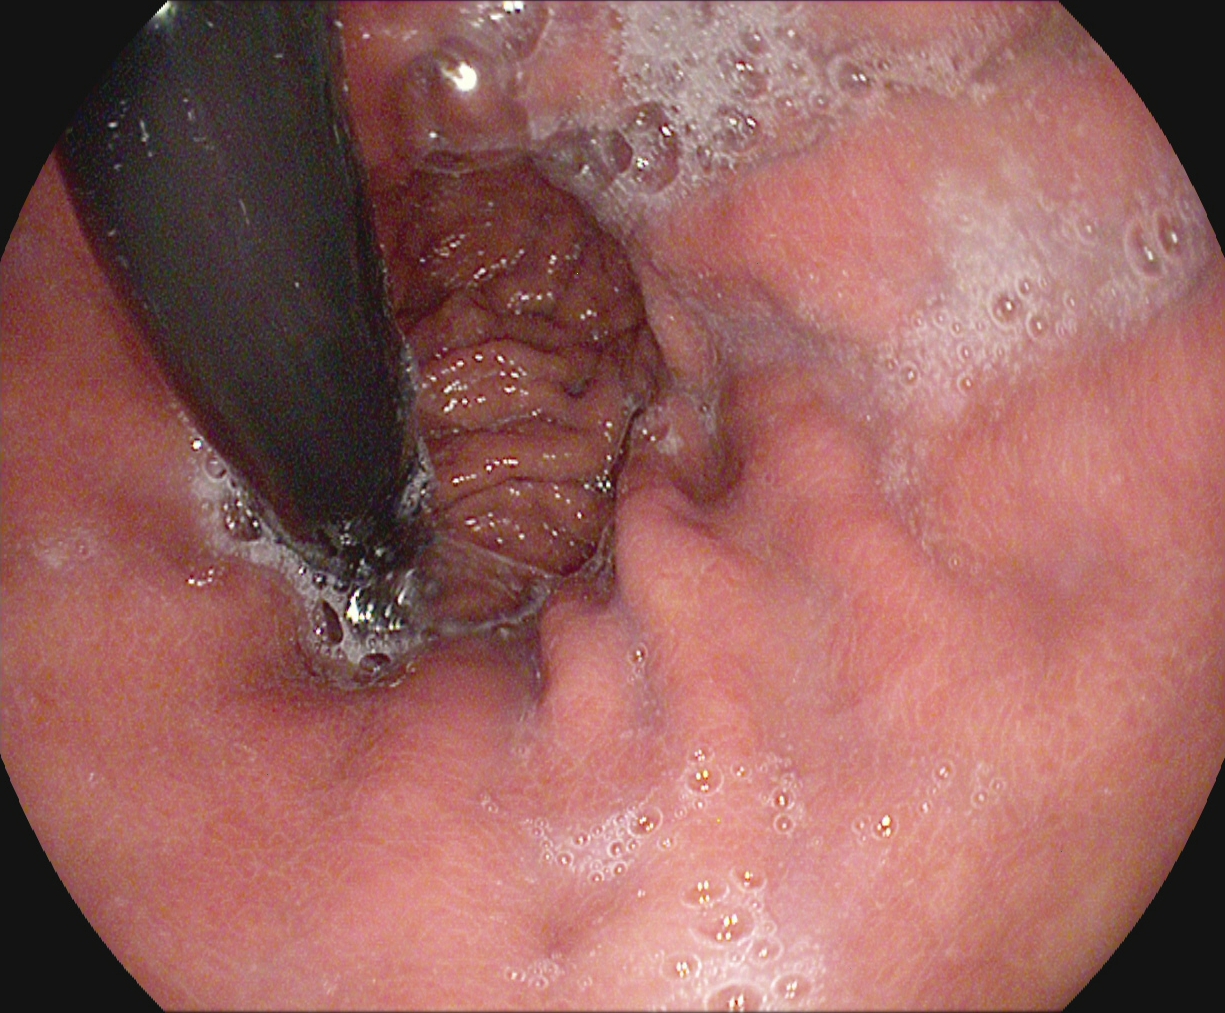Endoscopic frame of the upper GI tract showing stomach in retroflexion.